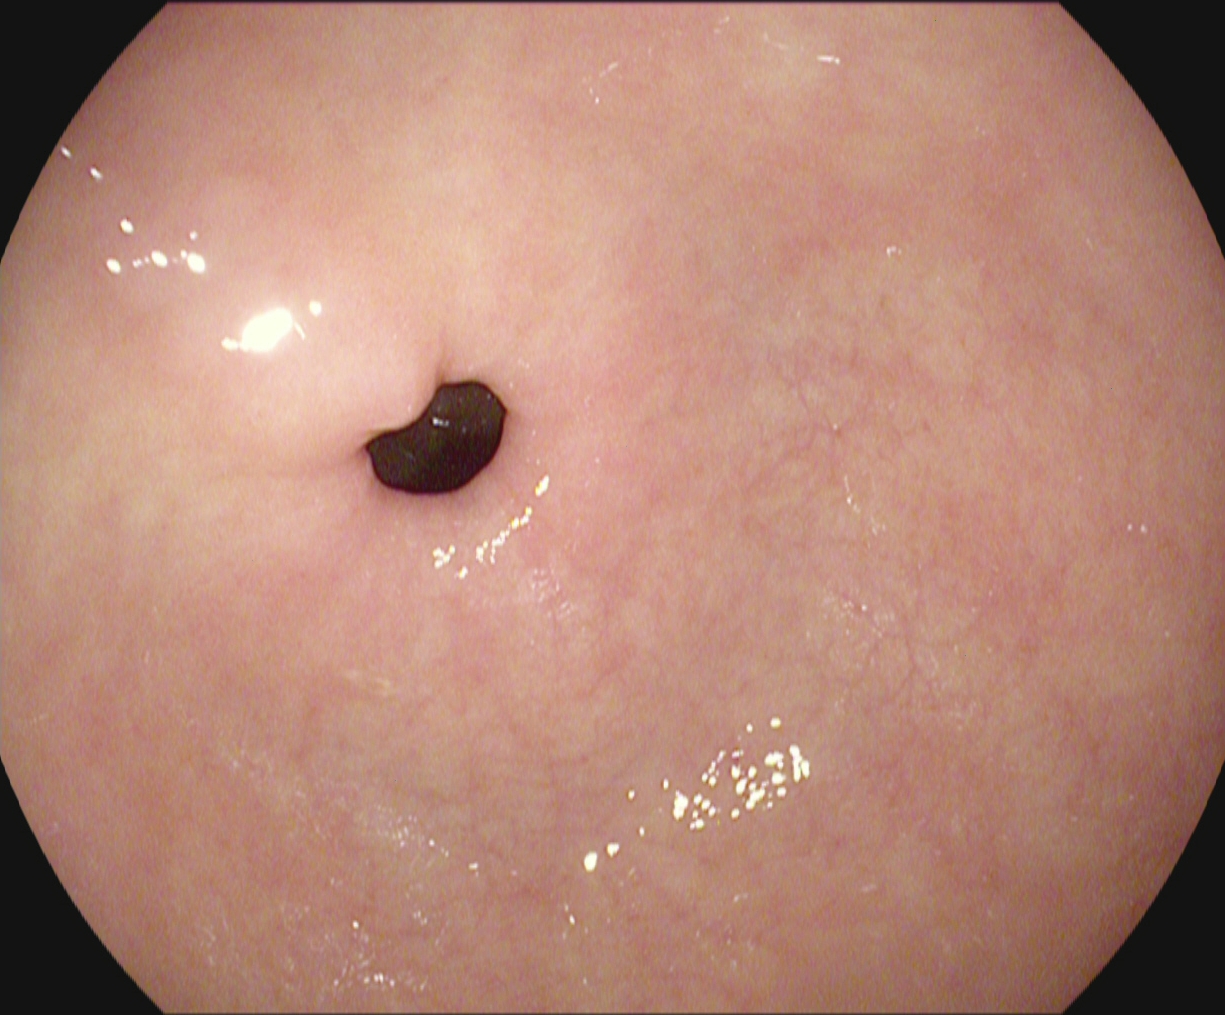Gastroscopy — pylorus.